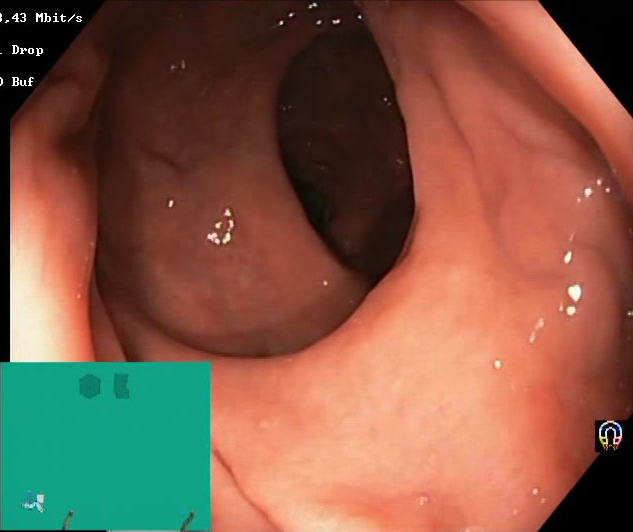Colonoscopy — Boston Bowel Preparation Scale score 2–3 (adequate preparation).